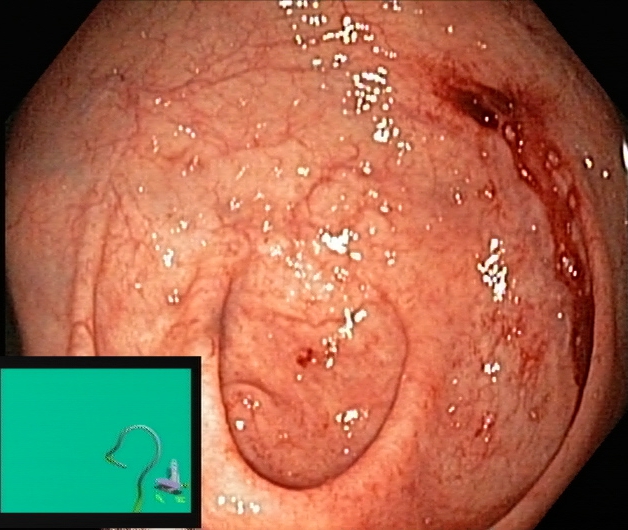This endoscopy frame of the lower GI tract shows cecum.